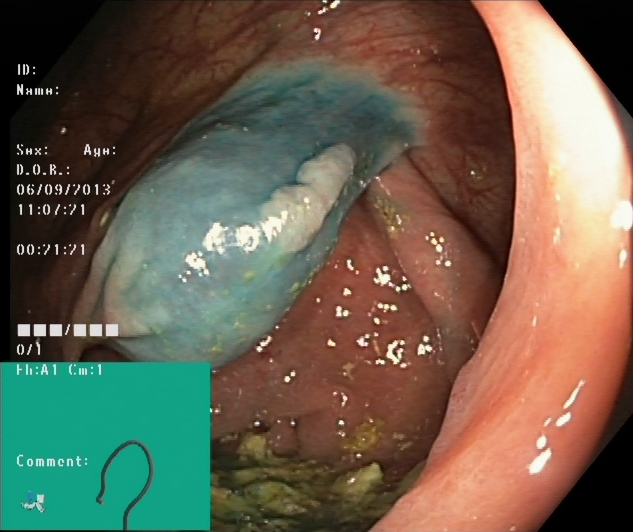Lower-GI endoscopy image of the lower GI tract showing dyed and lifted polyp (pre-resection).